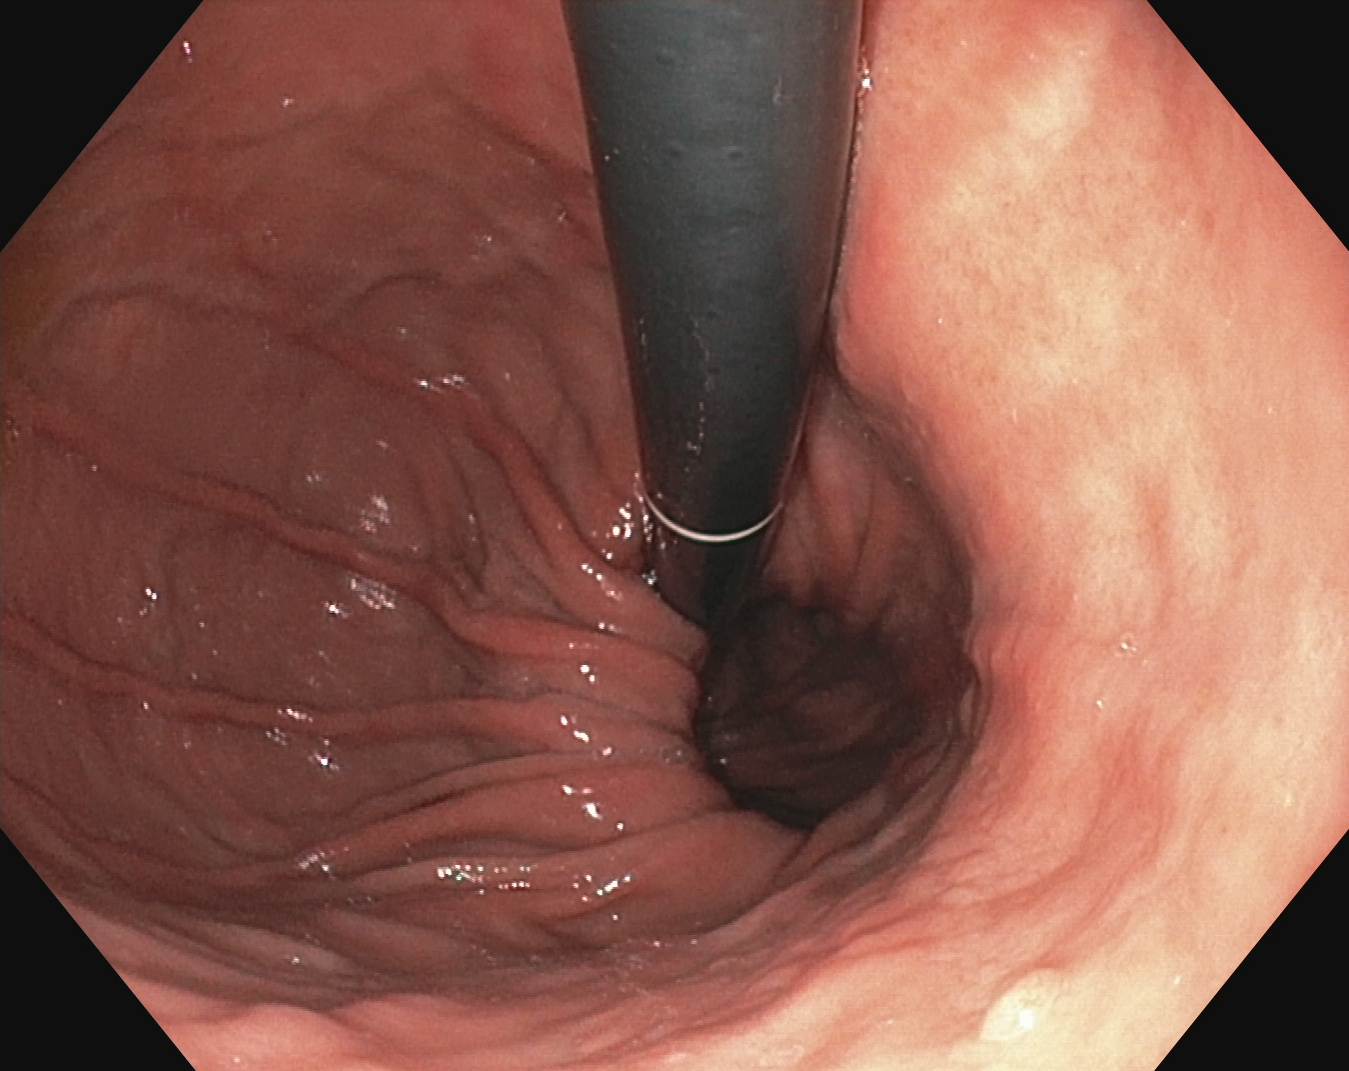Esophagogastroduodenoscopy — stomach in retroflexion.